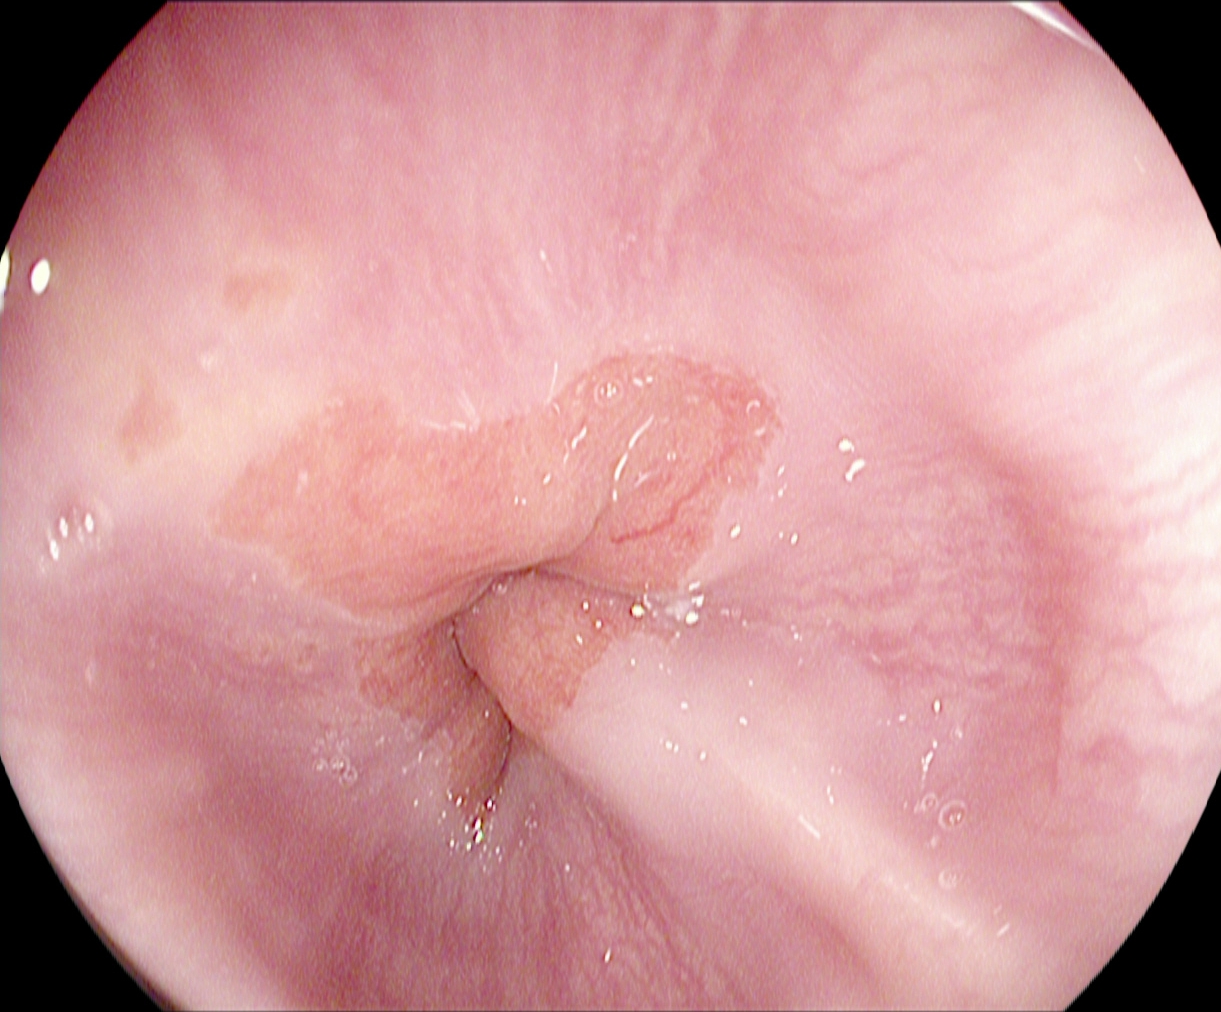PROCEDURE: Gastroscopy.
FINDINGS: Z-line (gastroesophageal junction).